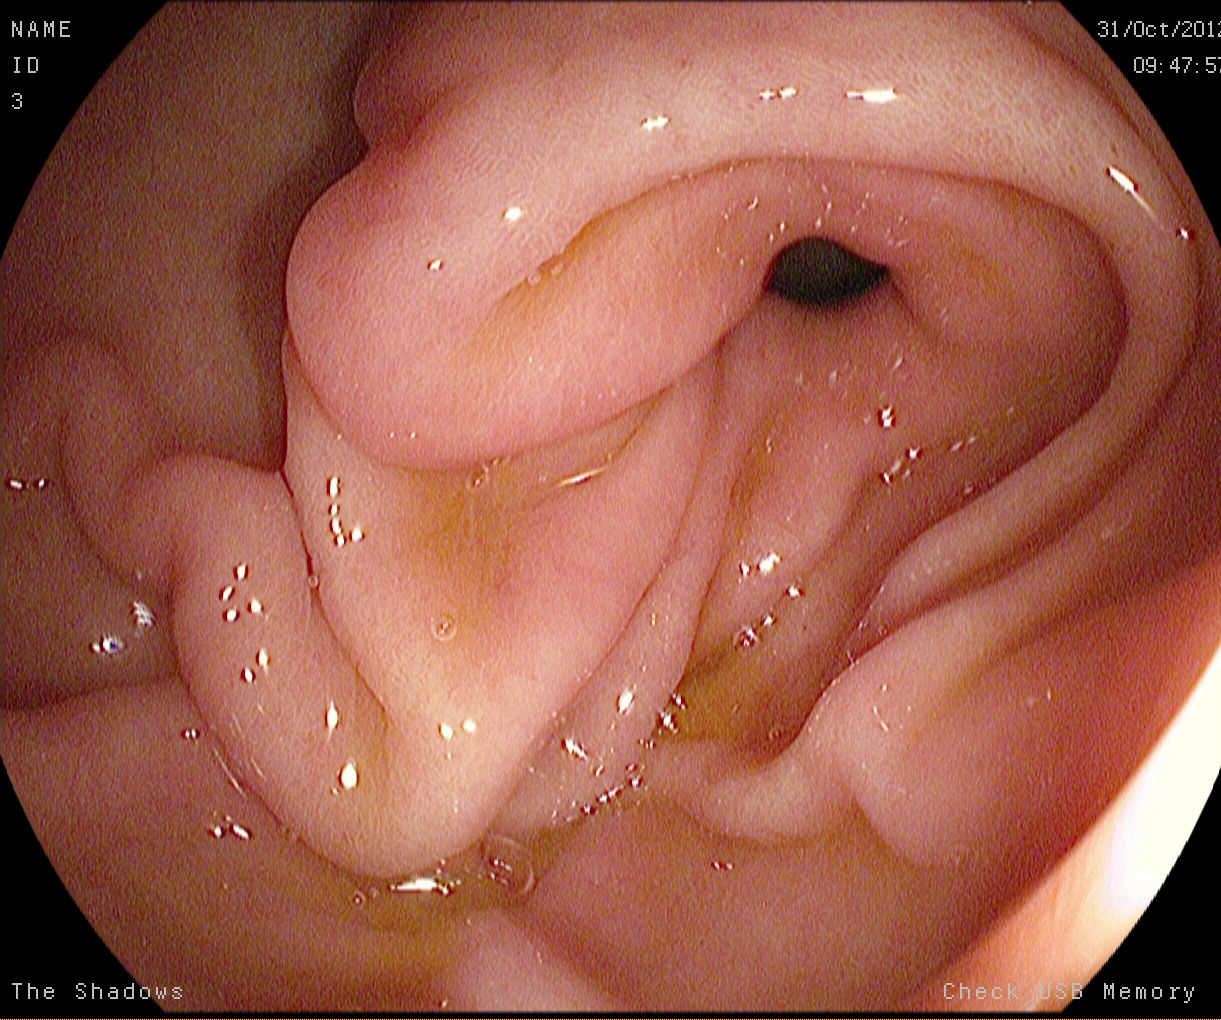{"modality": "esophagogastroduodenoscopy", "tract": "upper GI tract", "finding": "pylorus"}